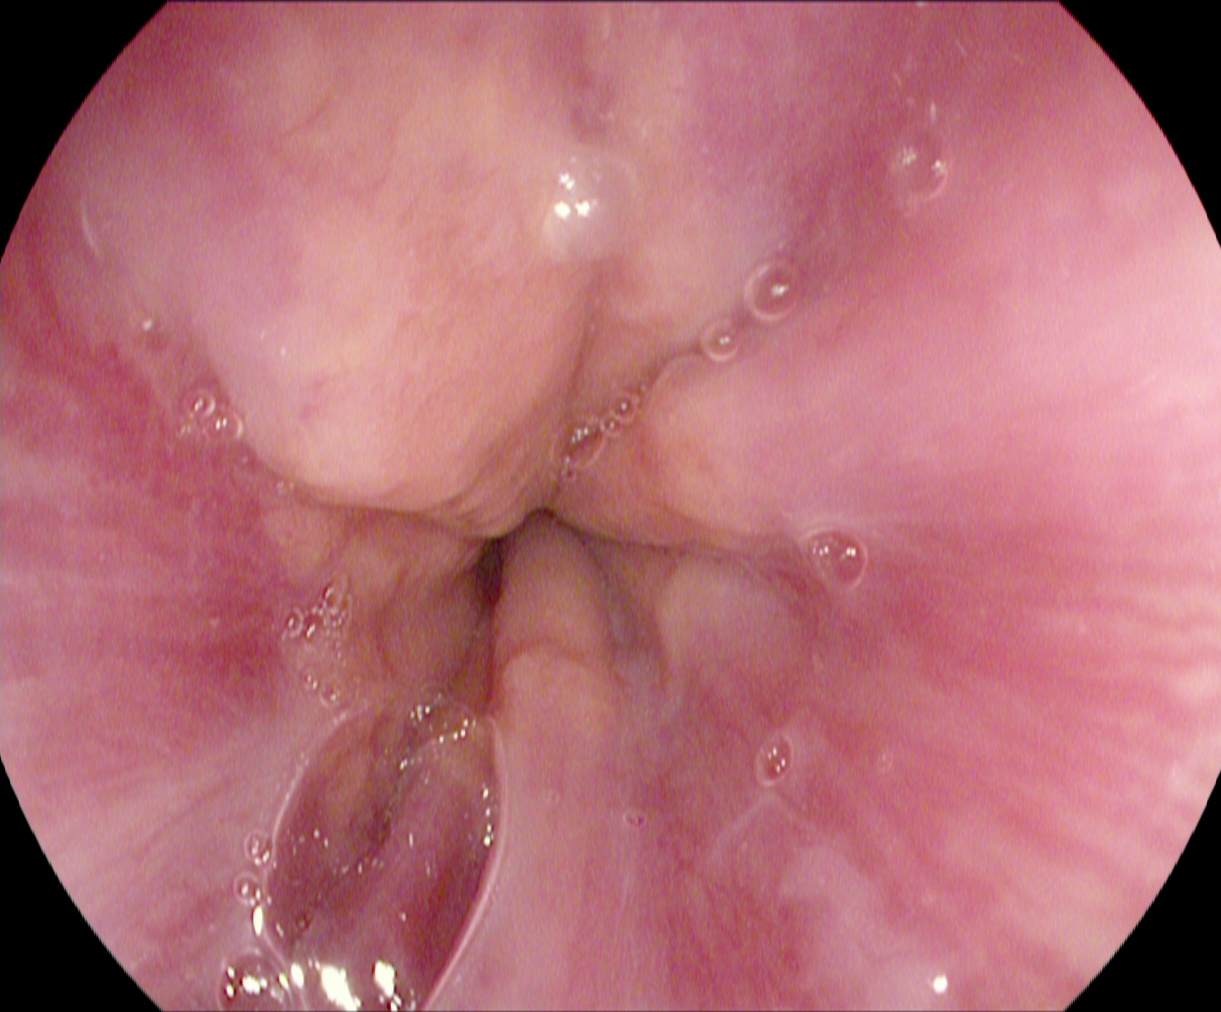Gastroscopy. Tract: upper GI tract. Finding: Z-line (gastroesophageal junction).